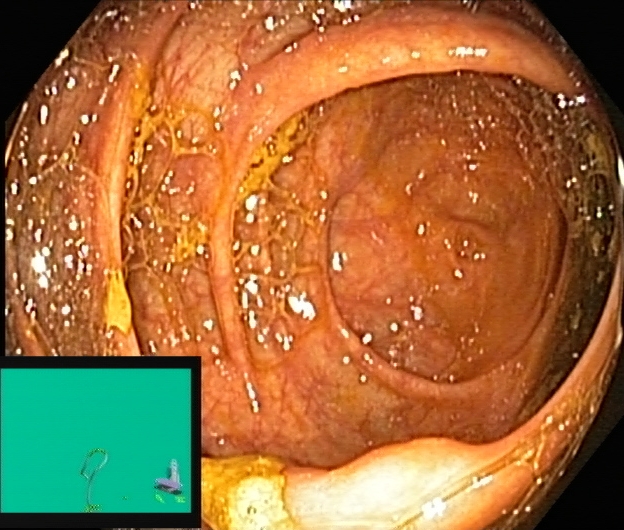Cecum.